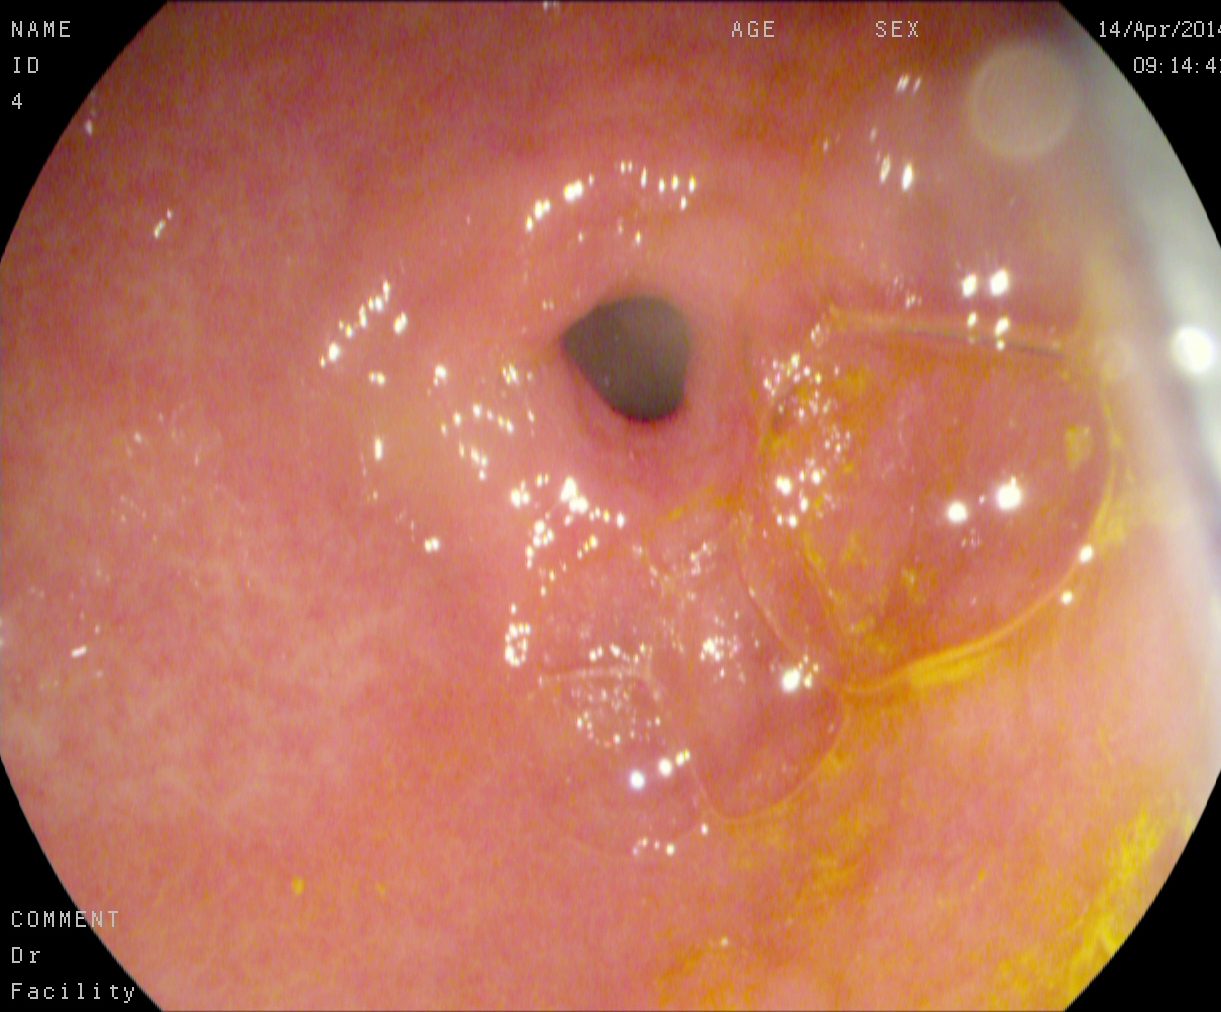This endoscopic image of the upper GI tract shows pylorus.